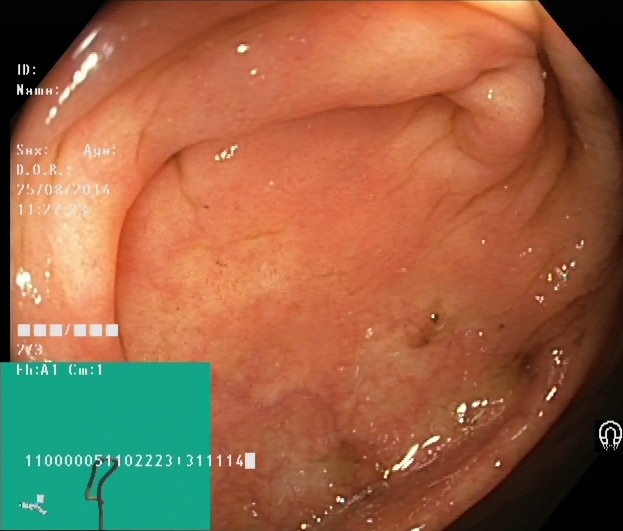modality: lower-GI endoscopy
tract: lower GI tract
finding: cecum